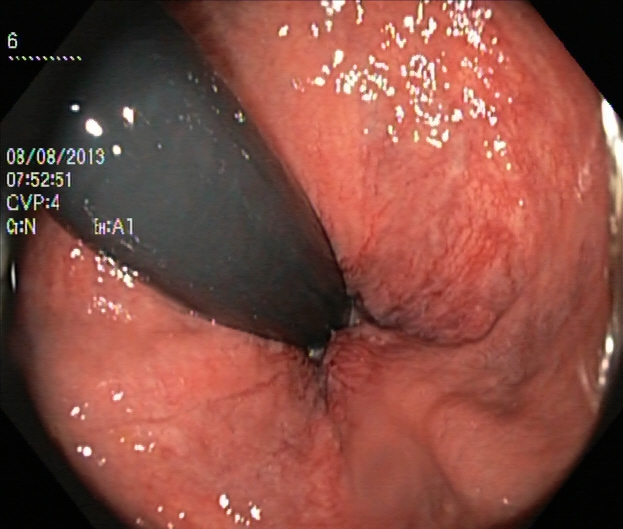Colonoscopy — rectum in retroflexion.